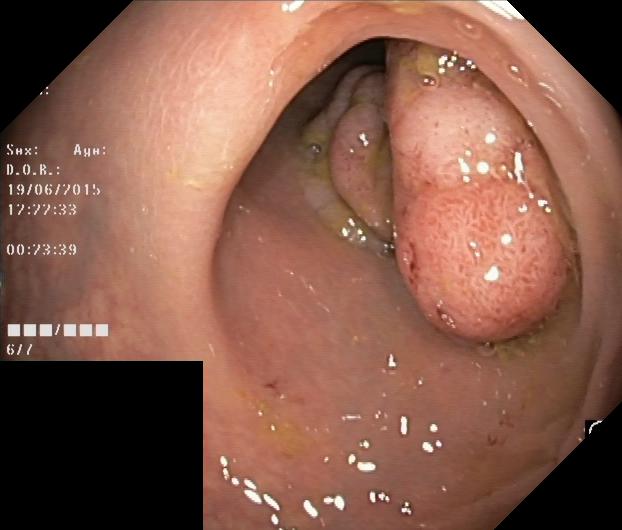Lower-GI endoscopy. Tract: lower GI tract. Finding: colorectal polyp(s).